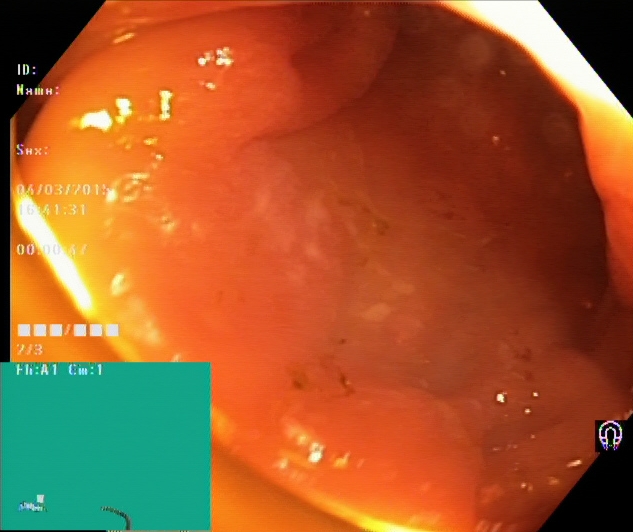Lower gastrointestinal endoscopy image of the lower GI tract showing UC, Mayo endoscopic subscore 2.